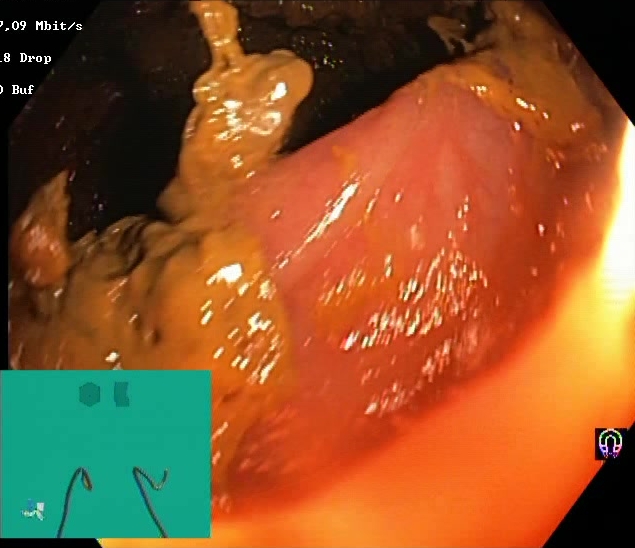Endoscopic frame of the lower GI tract showing Boston Bowel Preparation Scale score 0–1 (inadequate preparation).